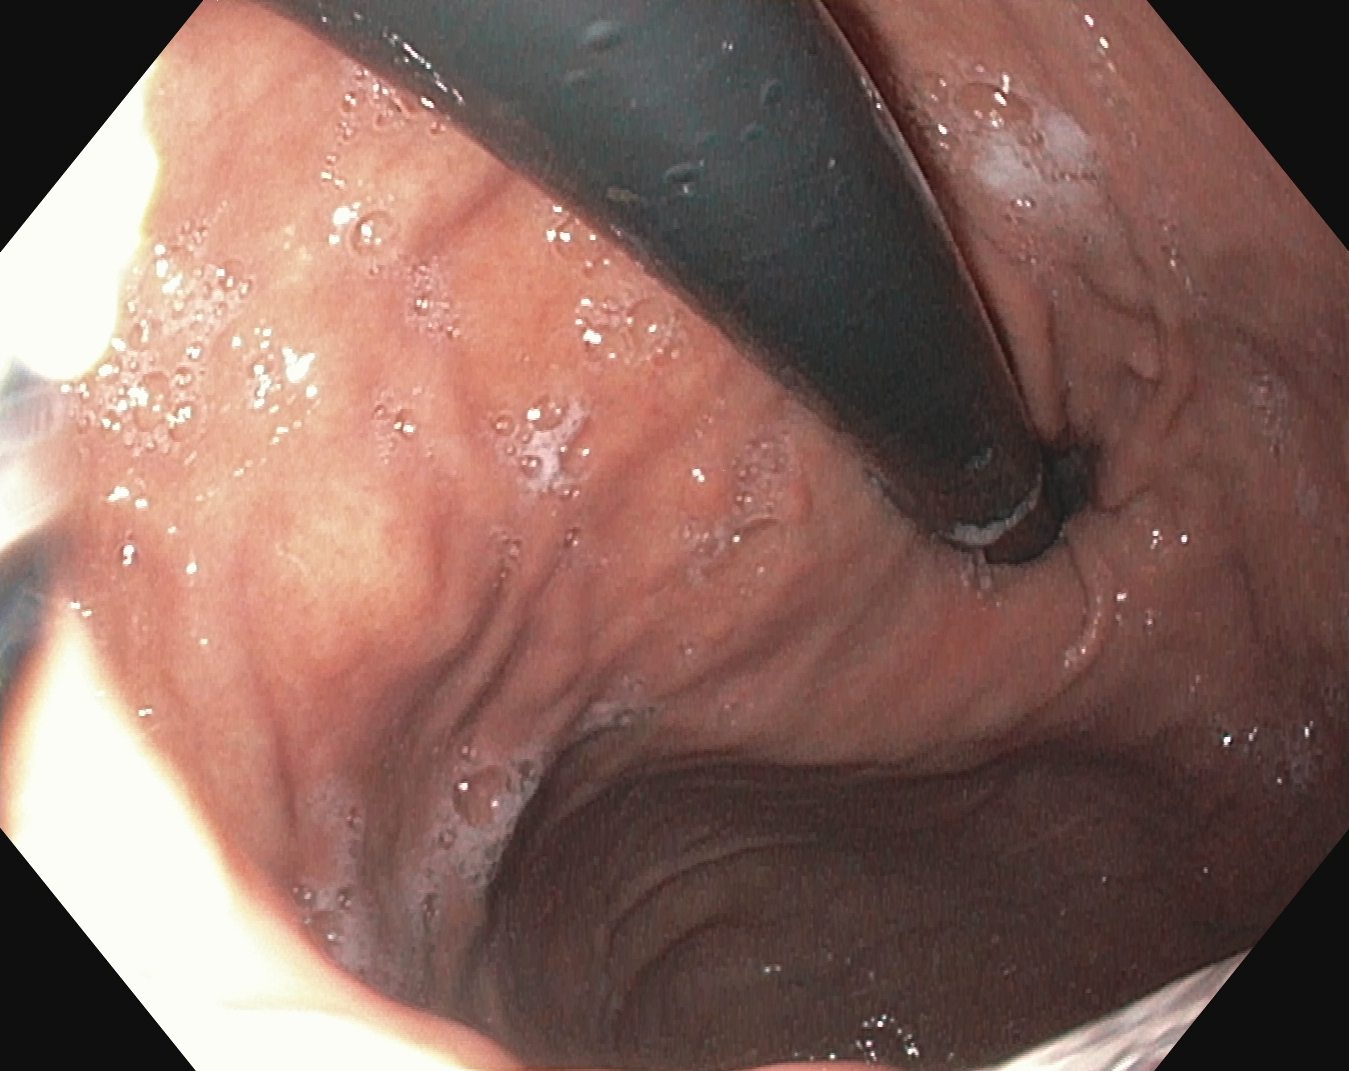{"modality": "upper-GI endoscopy", "tract": "upper GI tract", "finding": "stomach in retroflexion"}